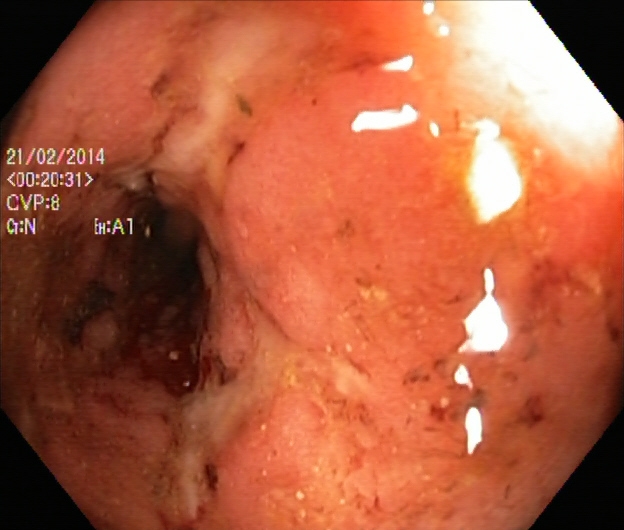modality: lower gastrointestinal endoscopy | category: pathological finding | finding: UC, Mayo endoscopic subscore 2–3